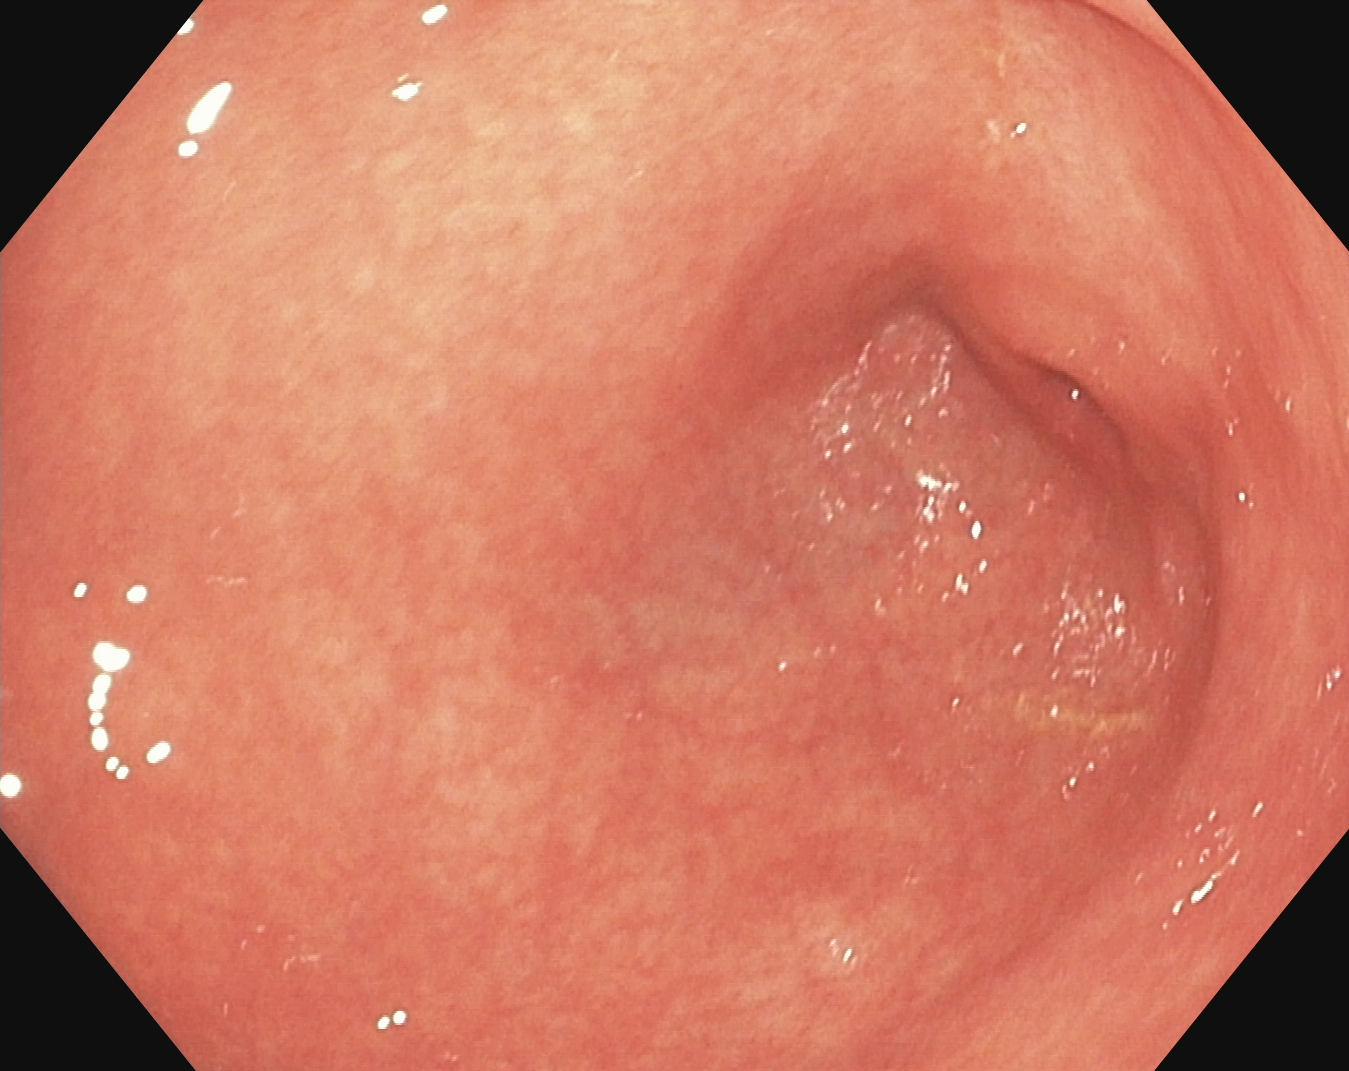Gastrointestinal endoscopy image of the upper GI tract showing pylorus.